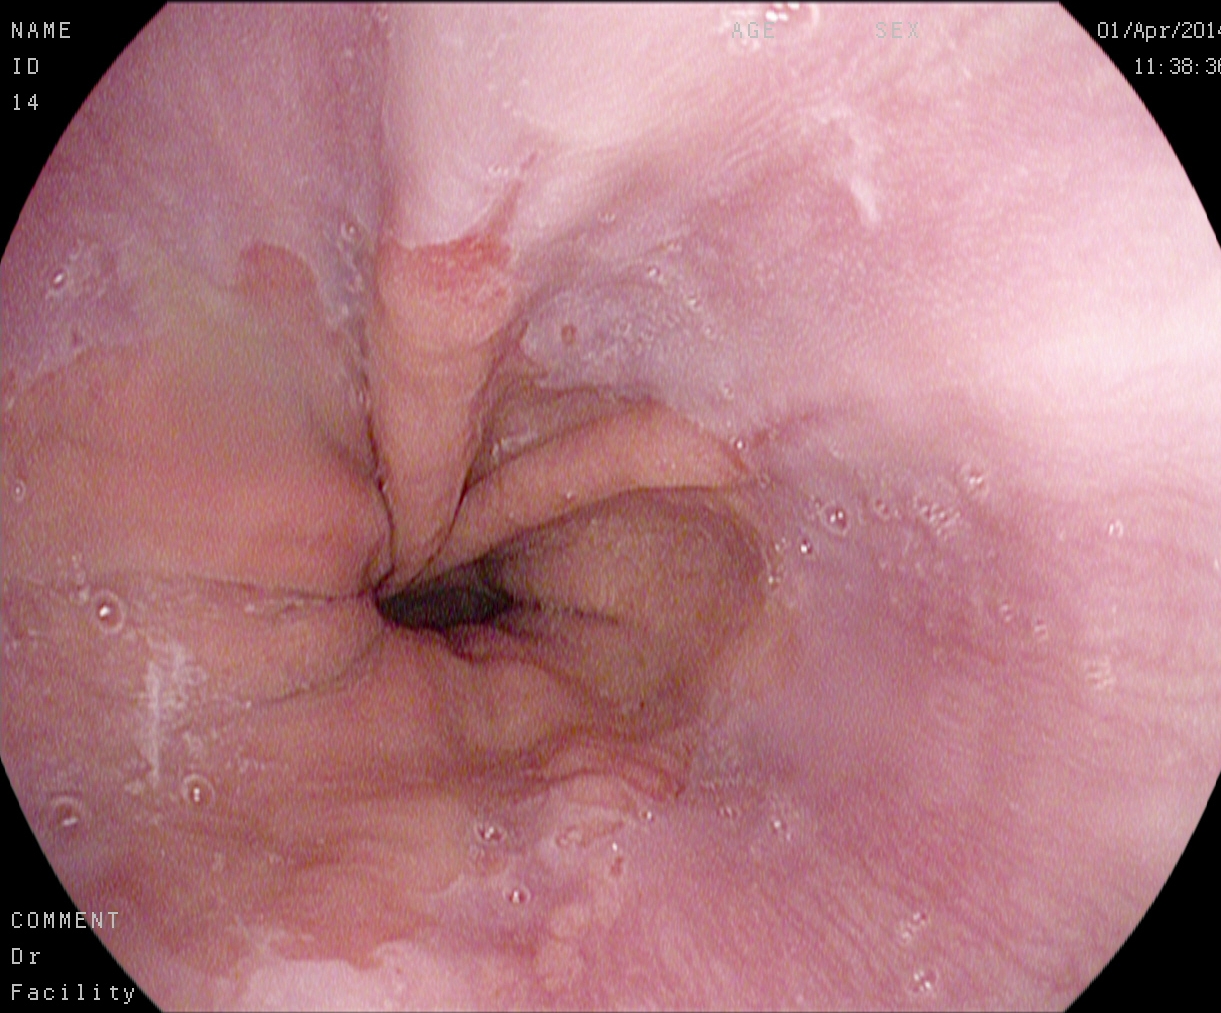{"modality": "upper-GI endoscopy", "finding": "reflux esophagitis, Los Angeles grade A"}